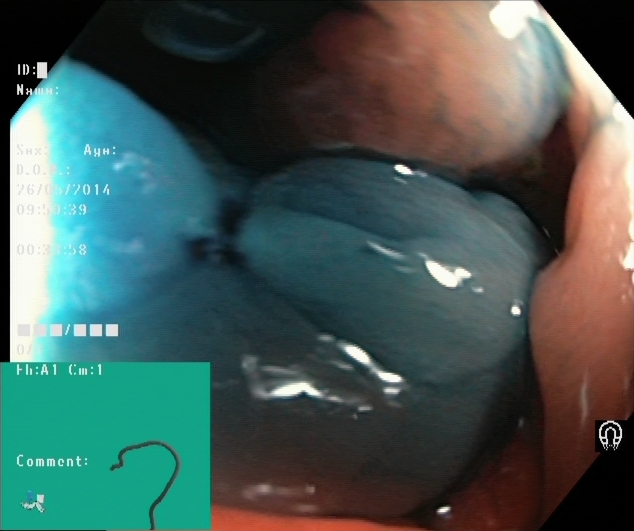Dyed resection margins (post-polypectomy).